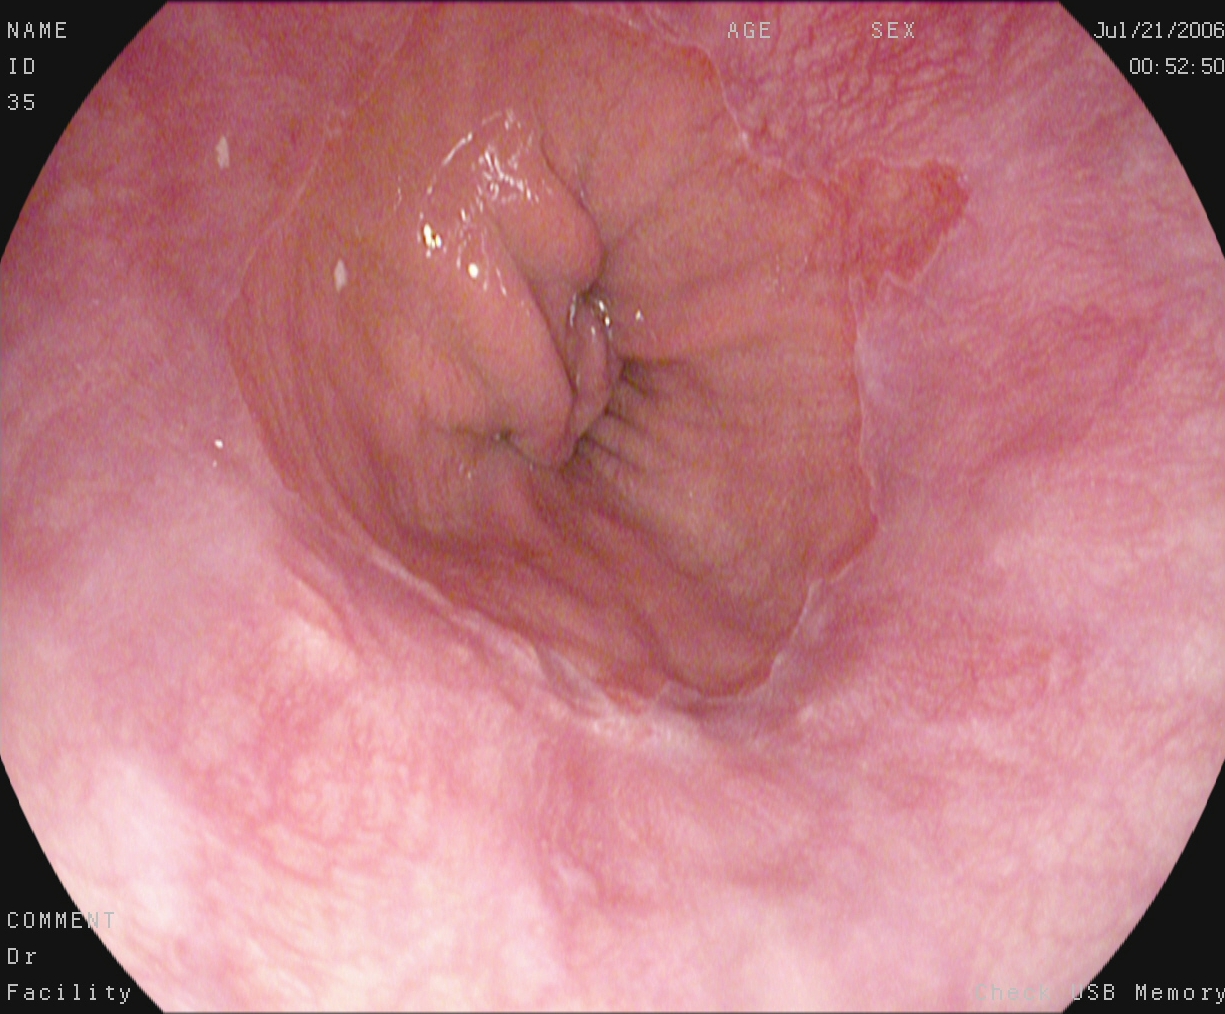{"modality": "gastroscopy", "category": "pathological finding", "finding": "Barrett's esophagus, short segment"}